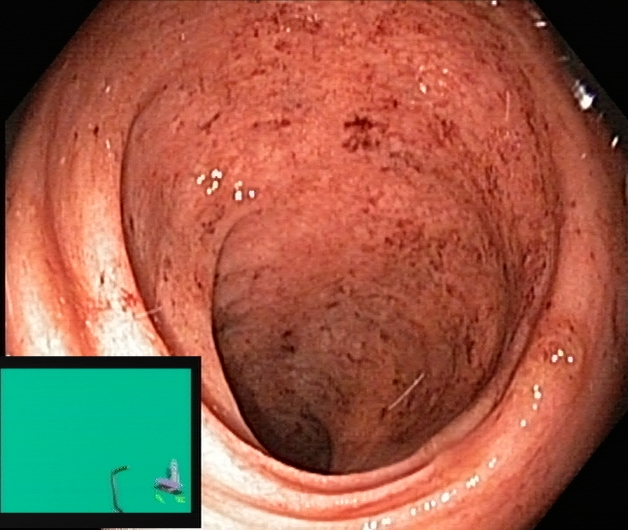Endoscopic frame of the lower GI tract showing ulcerative colitis, Mayo endoscopic subscore 1.